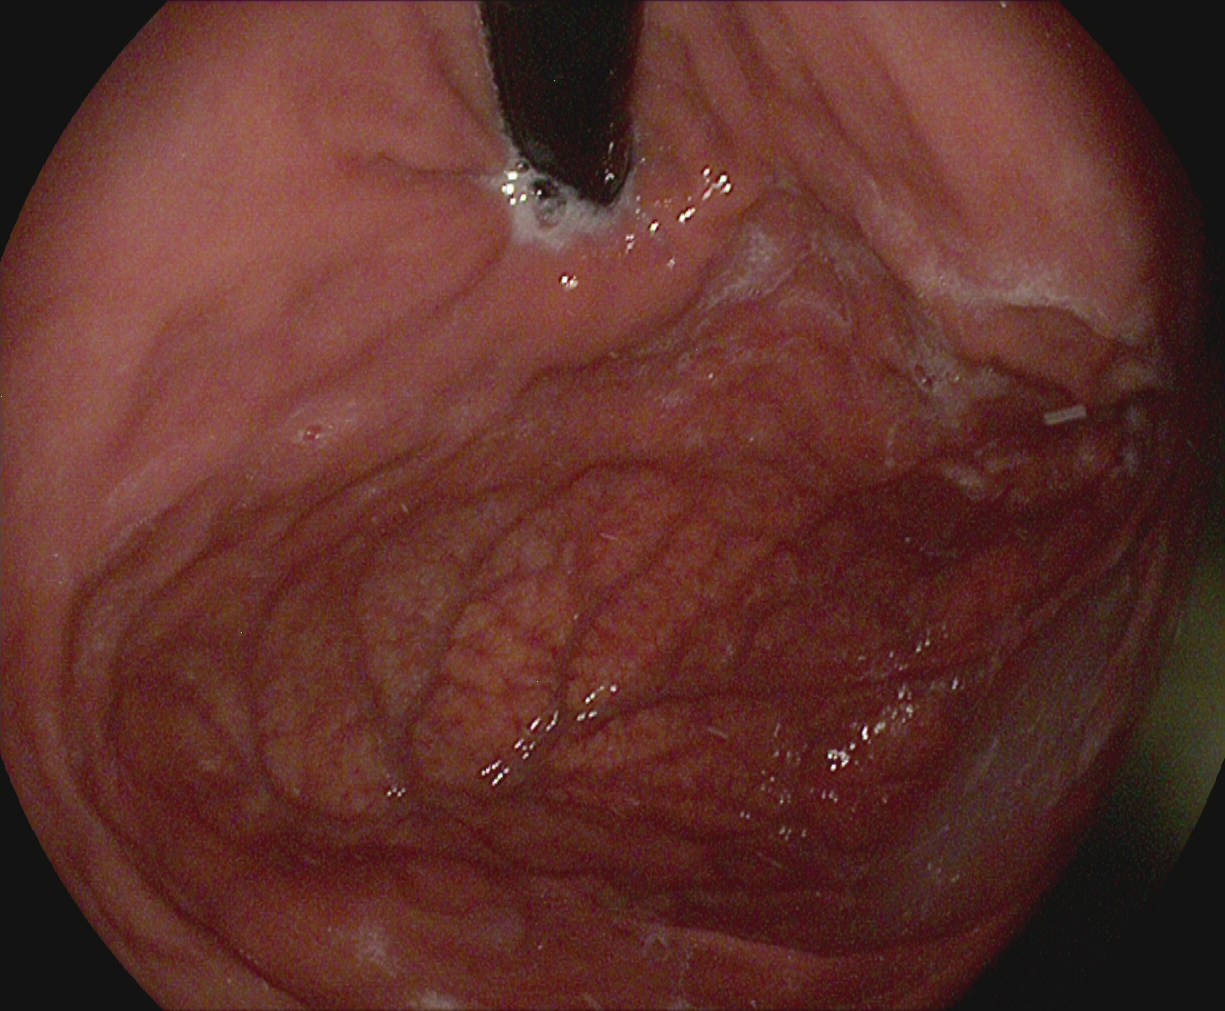This endoscopy frame shows stomach in retroflexion.